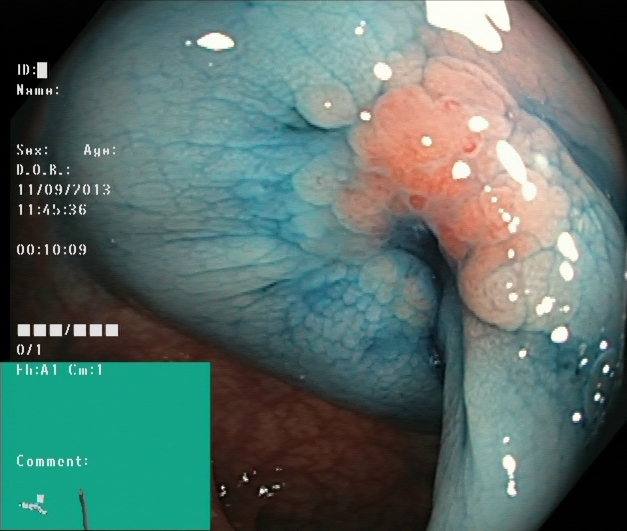{"modality": "lower-GI endoscopy", "tract": "lower GI tract", "finding": "dyed and lifted polyp (pre-resection)"}